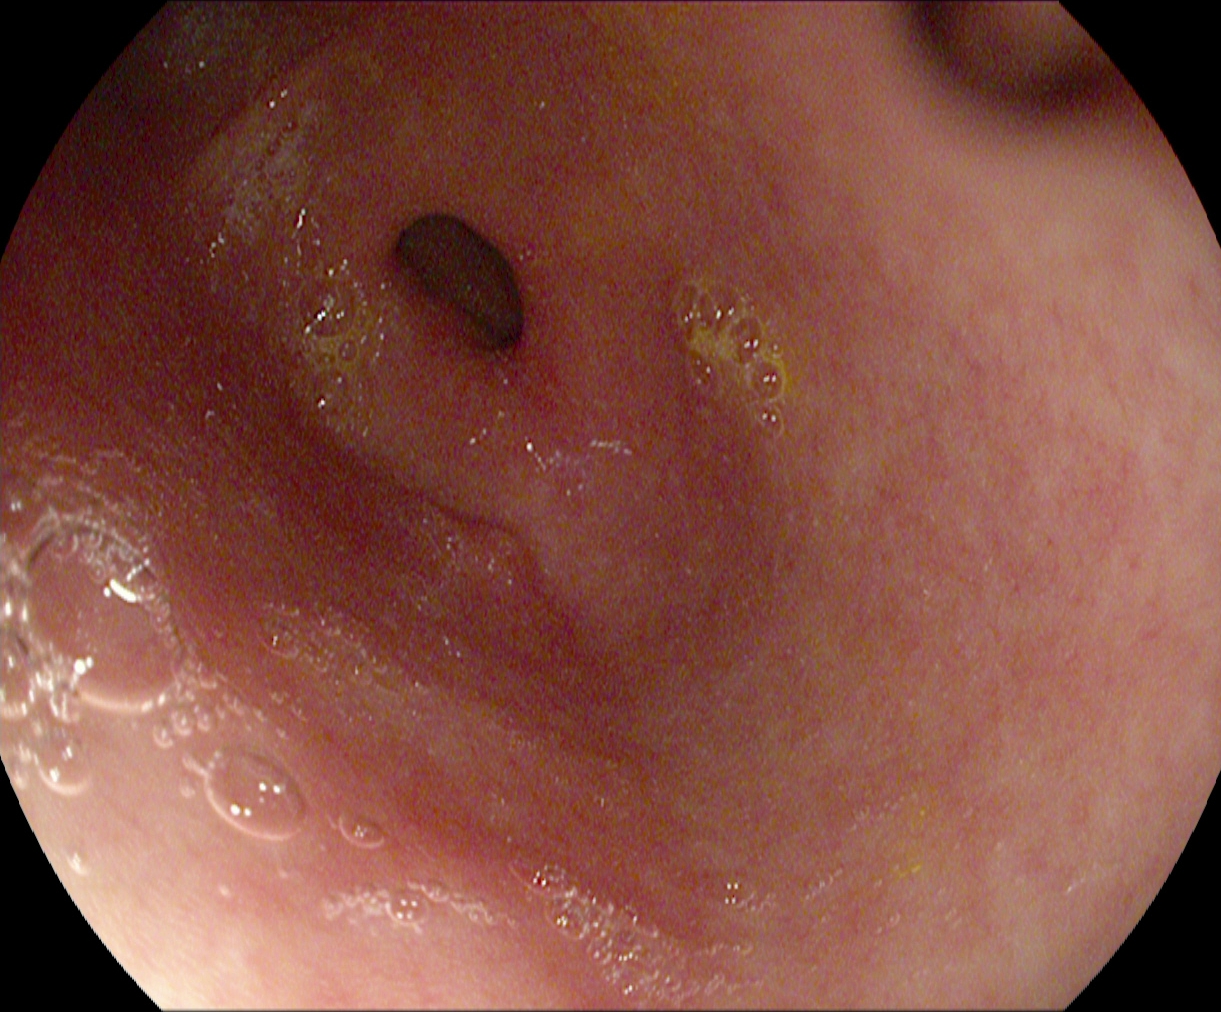modality: esophagogastroduodenoscopy | tract: upper GI tract | finding: pylorus